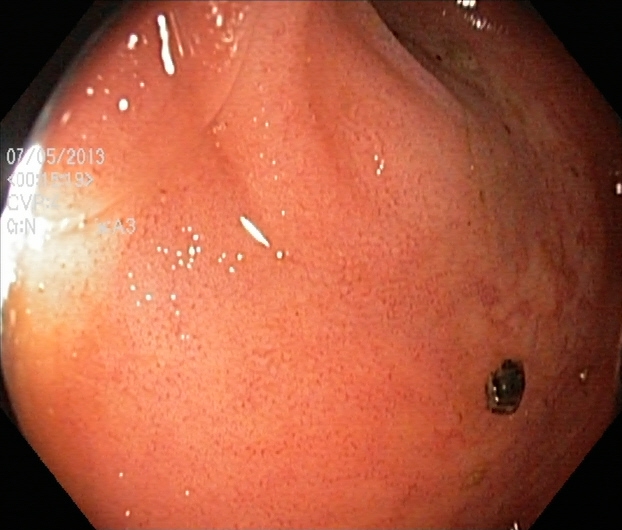Ulcerative colitis, Mayo endoscopic subscore 2.